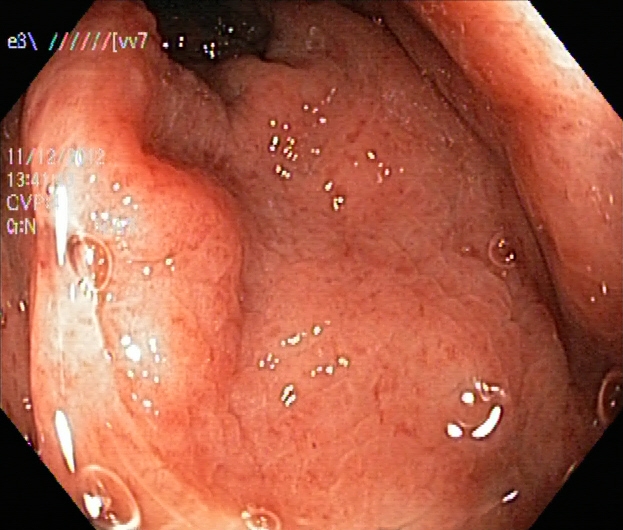UC, Mayo endoscopic subscore 2.